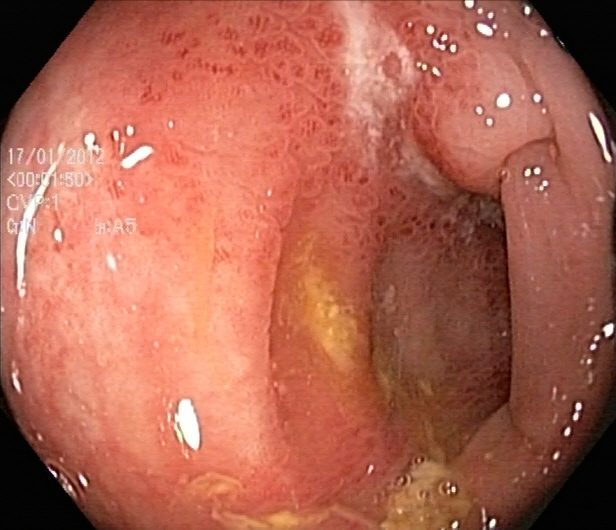{"modality": "lower gastrointestinal endoscopy", "tract": "lower GI tract", "finding": "UC, Mayo endoscopic subscore 2"}